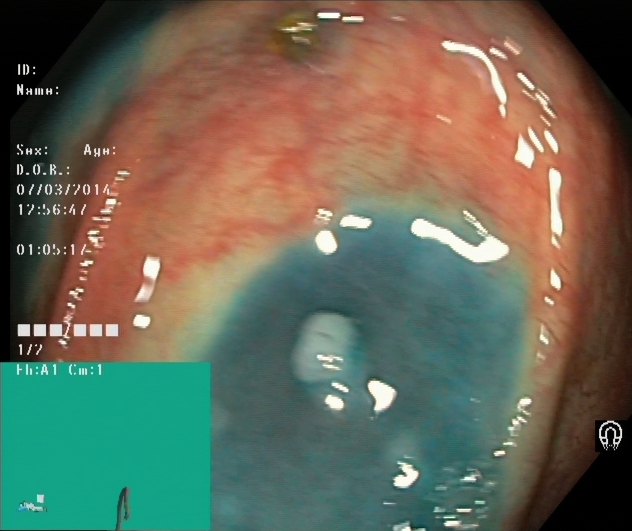This endoscopy frame of the lower GI tract shows dyed and lifted polyp (pre-resection).